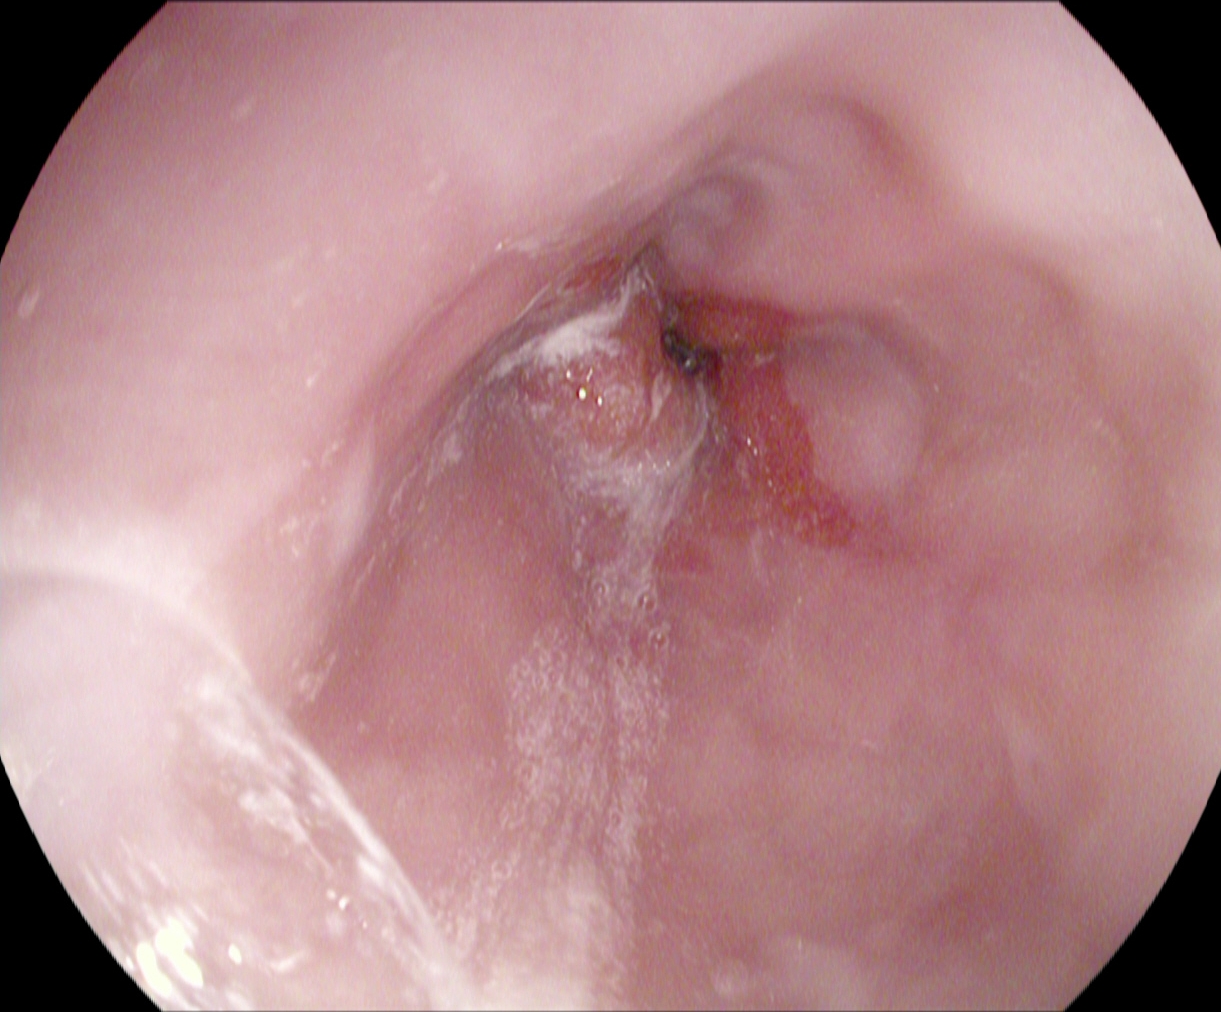This endoscopic image of the upper GI tract shows reflux esophagitis, Los Angeles grade A.